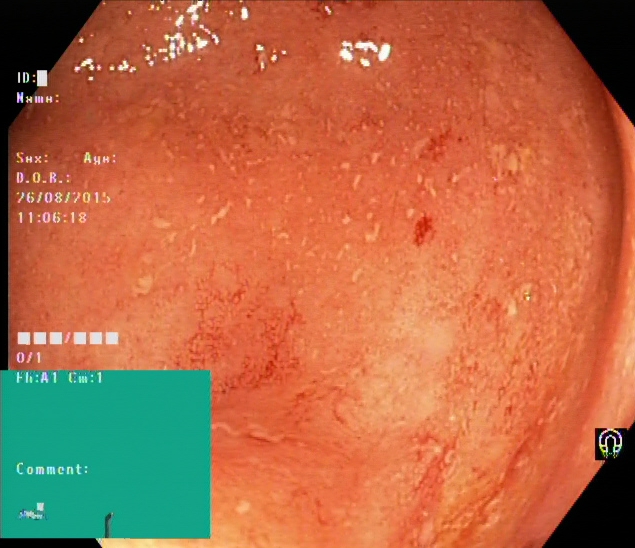Lower gastrointestinal endoscopy image of the lower GI tract showing ulcerative colitis, Mayo endoscopic subscore 2.